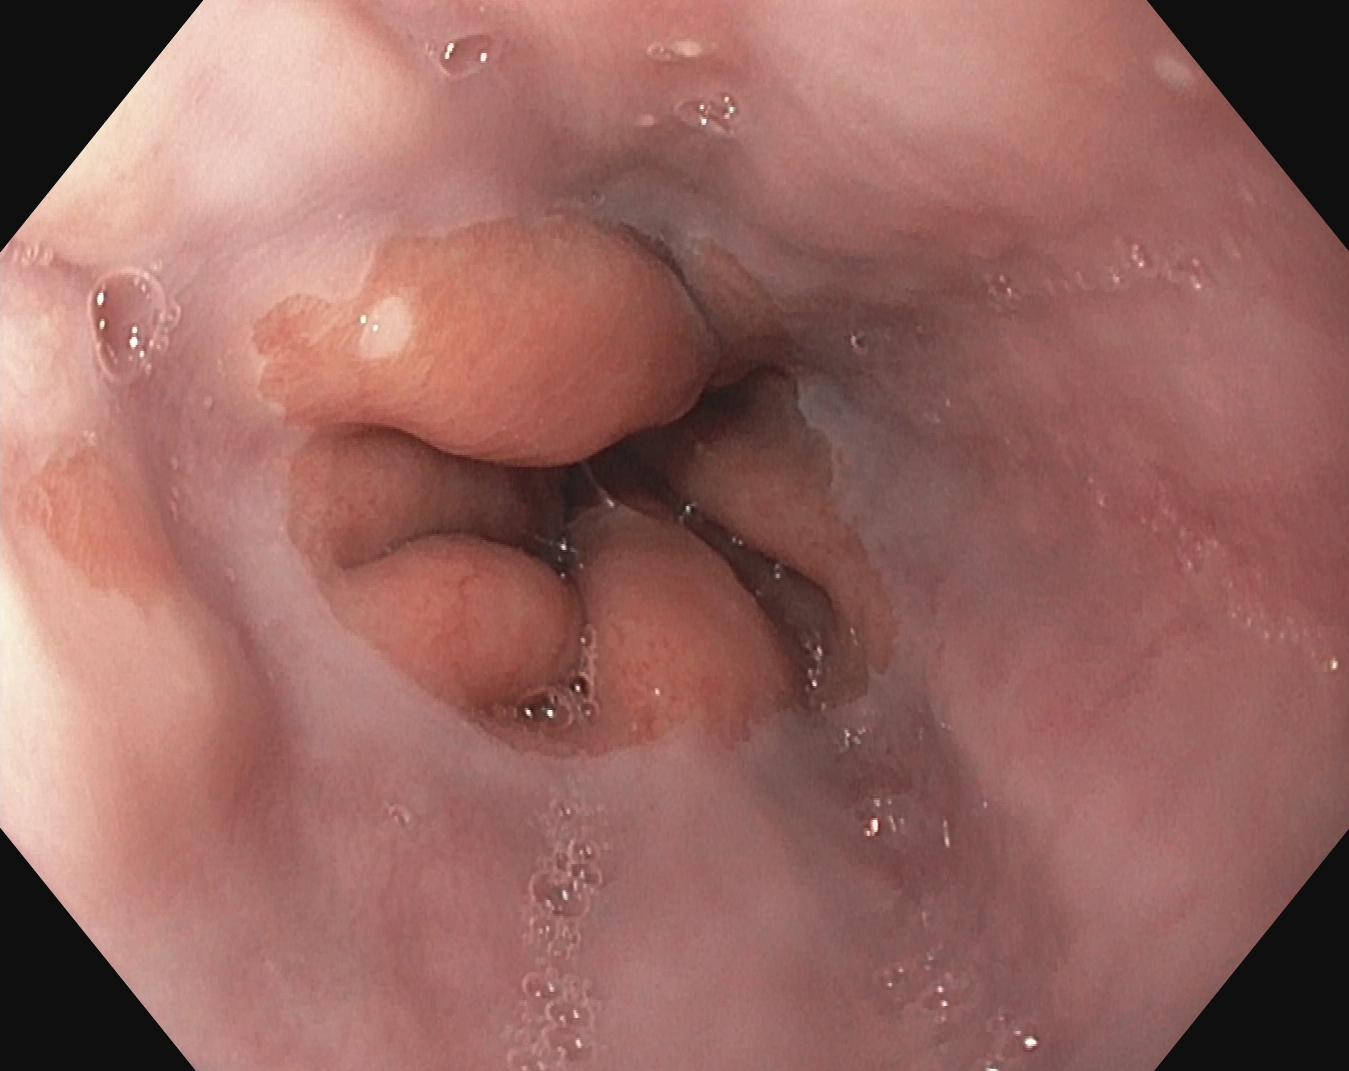PROCEDURE: Upper-GI endoscopy.
FINDINGS: Z-line (gastroesophageal junction).